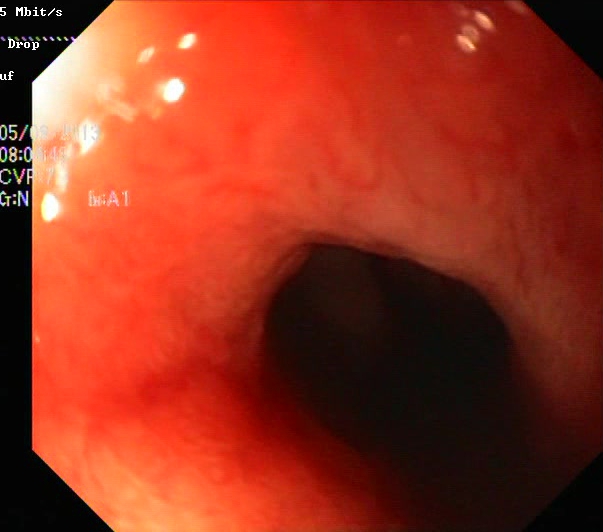Ulcerative colitis, Mayo endoscopic subscore 2.